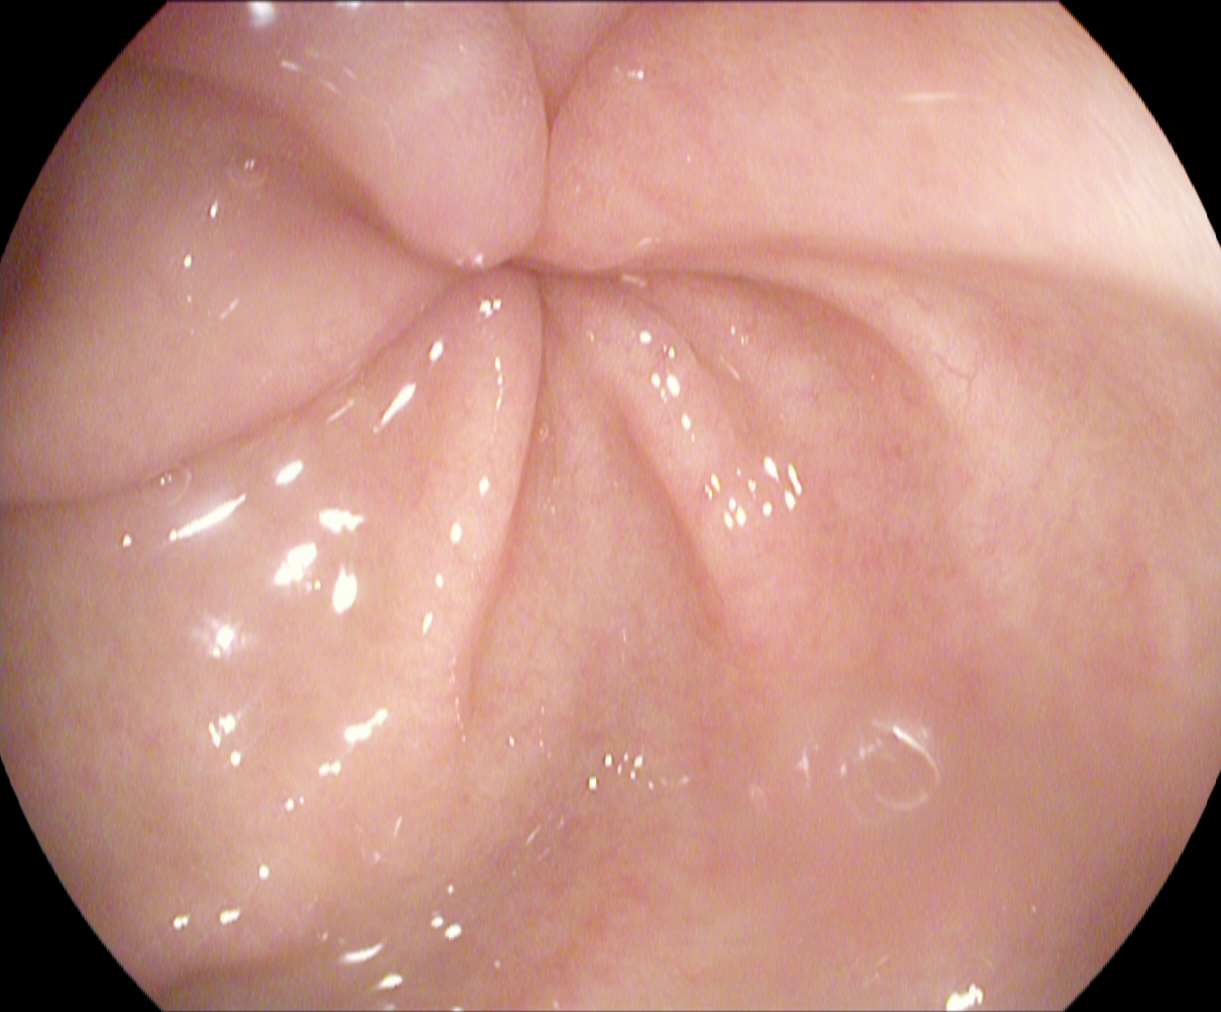This endoscopy frame shows pylorus.